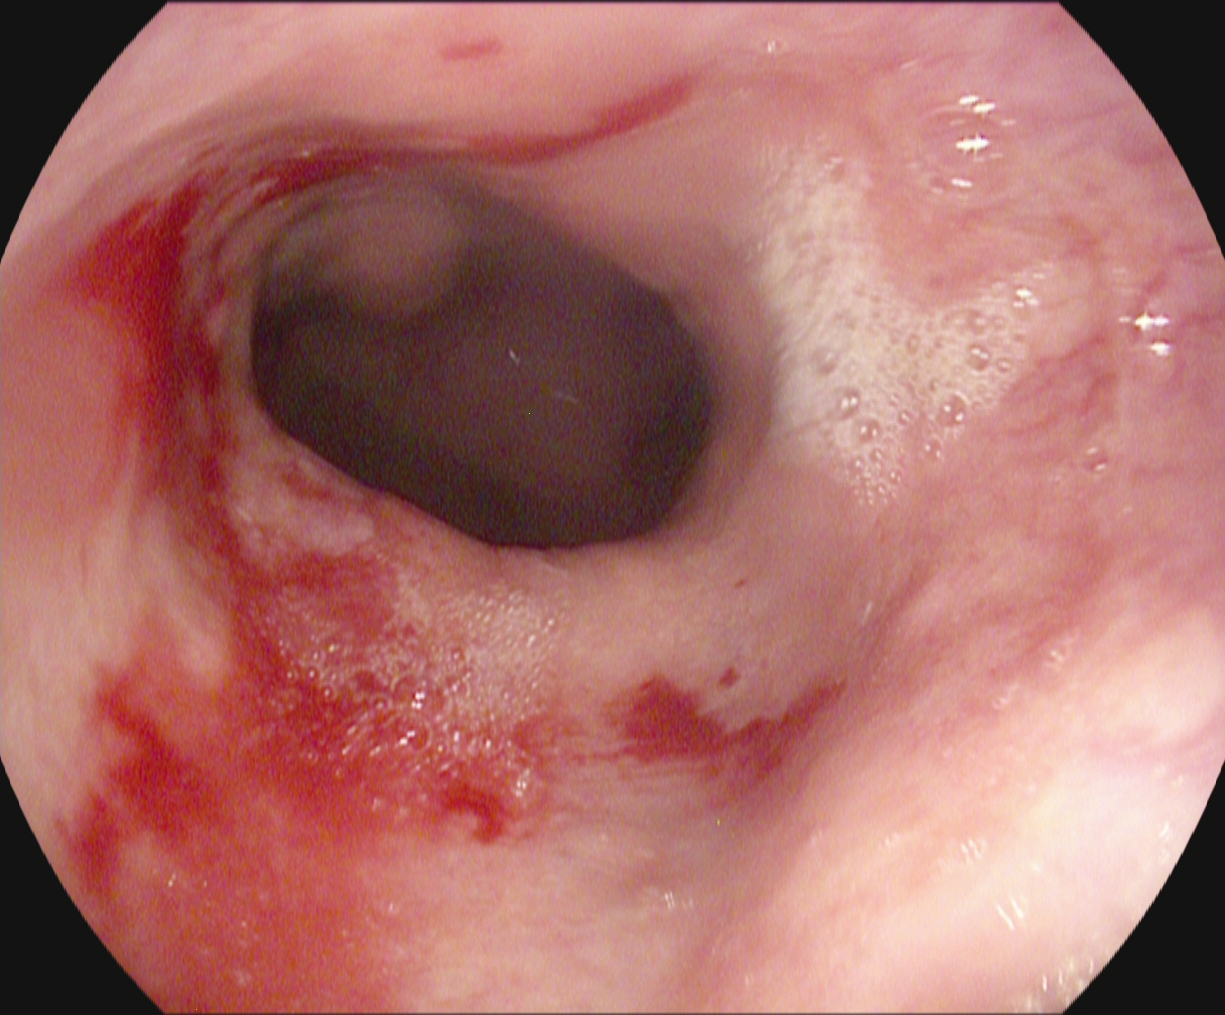EGD — reflux esophagitis, LA grade B–D.